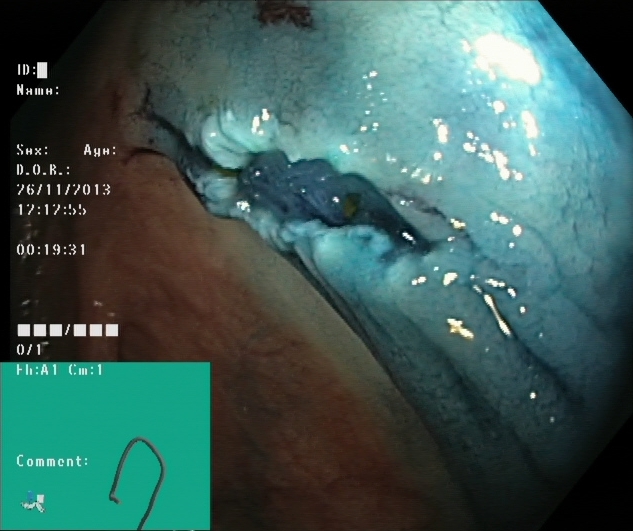dyed resection margins (post-polypectomy).